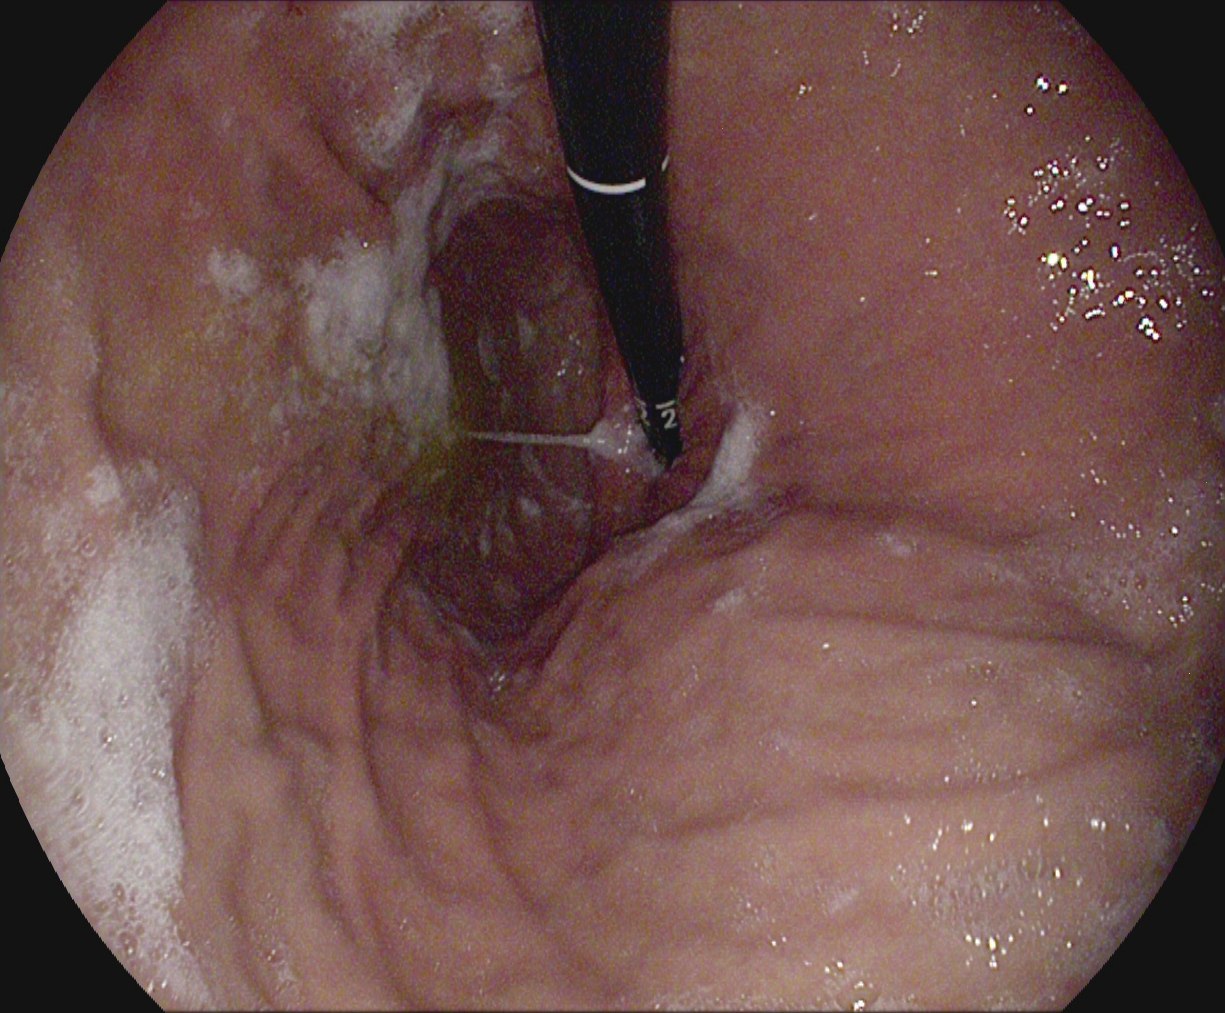PROCEDURE: Upper-GI endoscopy.
FINDINGS: Stomach in retroflexion.